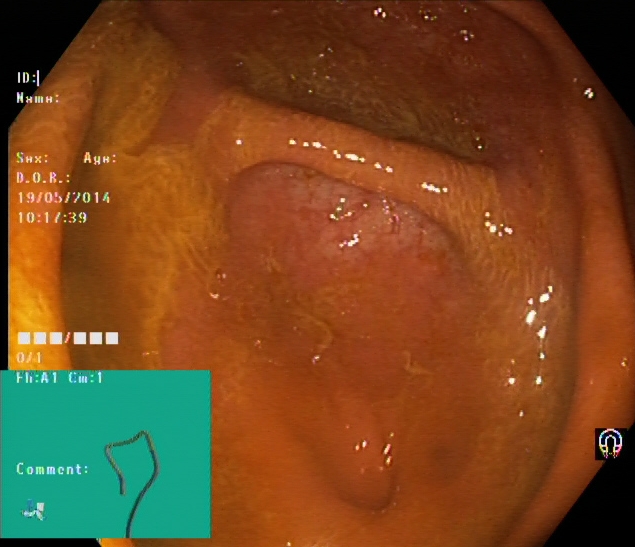Colonoscopy — cecum.